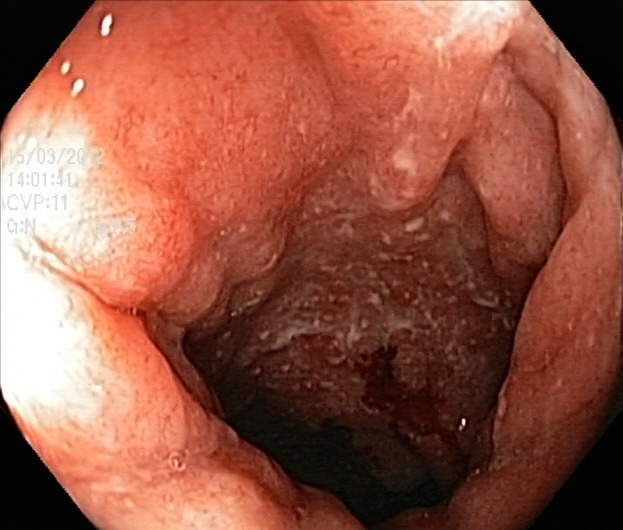modality: lower-GI endoscopy | category: pathological finding | finding: ulcerative colitis, Mayo endoscopic subscore 2